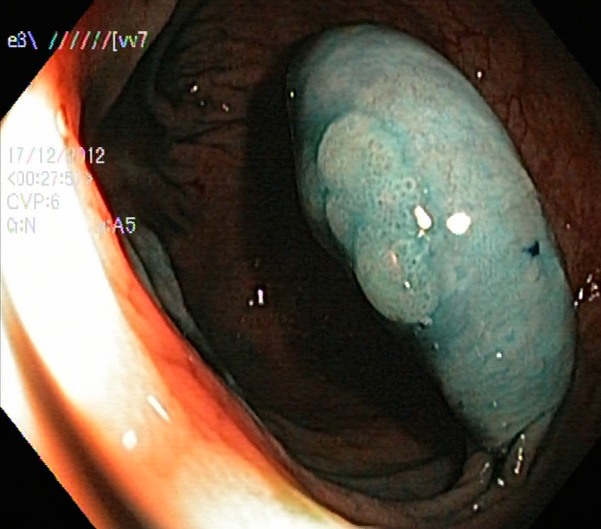{"modality": "colonoscopy", "finding": "dyed and lifted polyp (pre-resection)"}